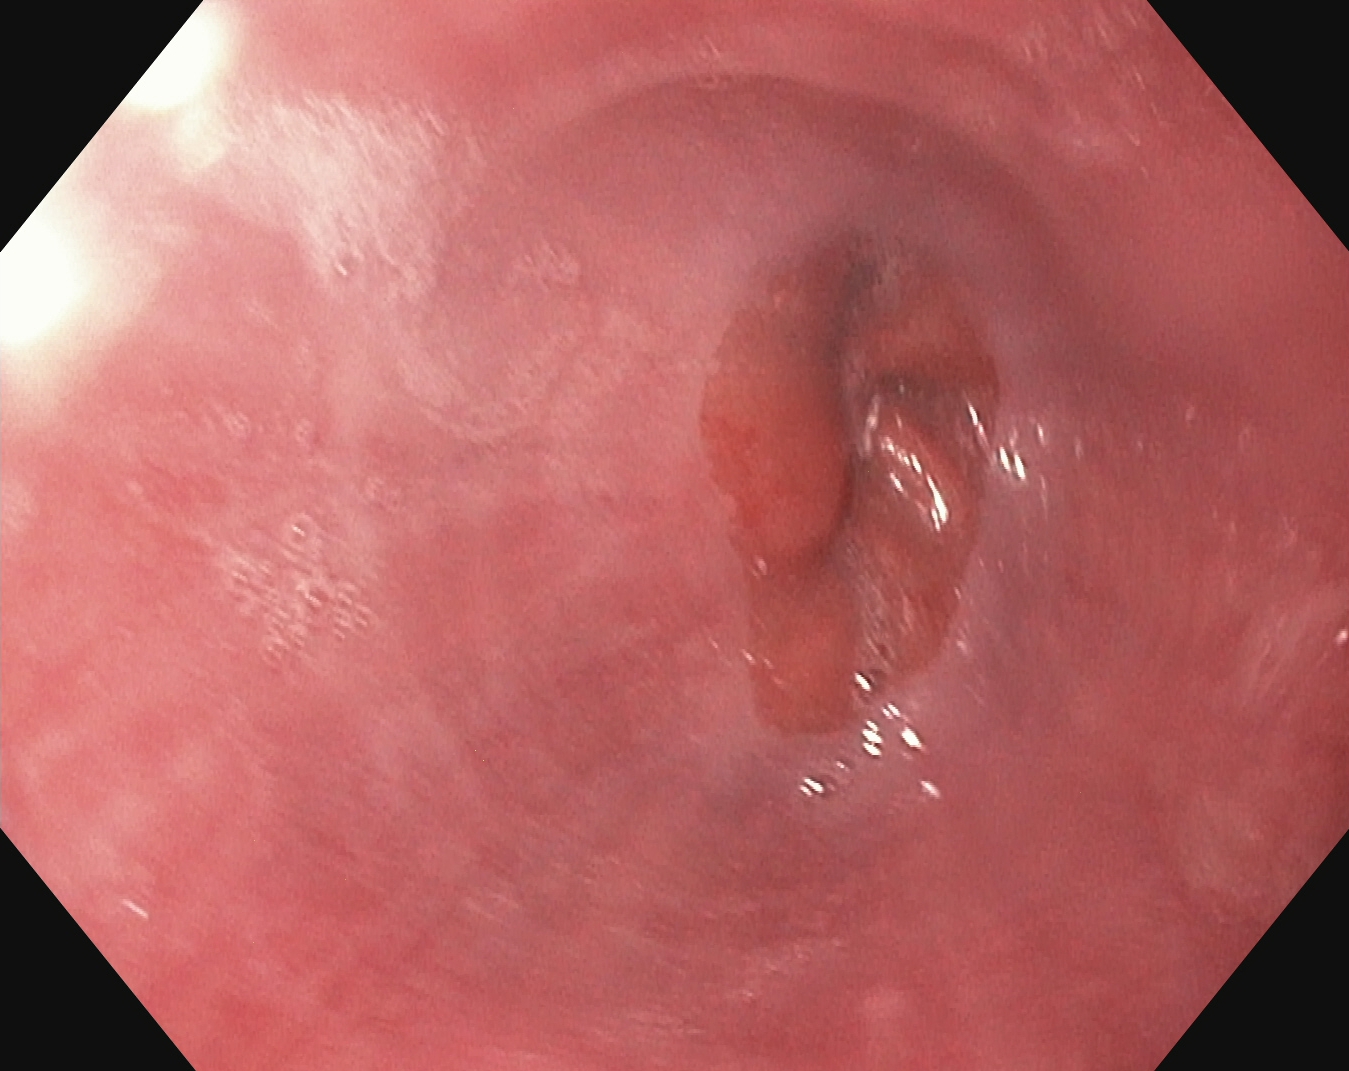This endoscopic image of the upper GI tract shows Z-line (gastroesophageal junction).